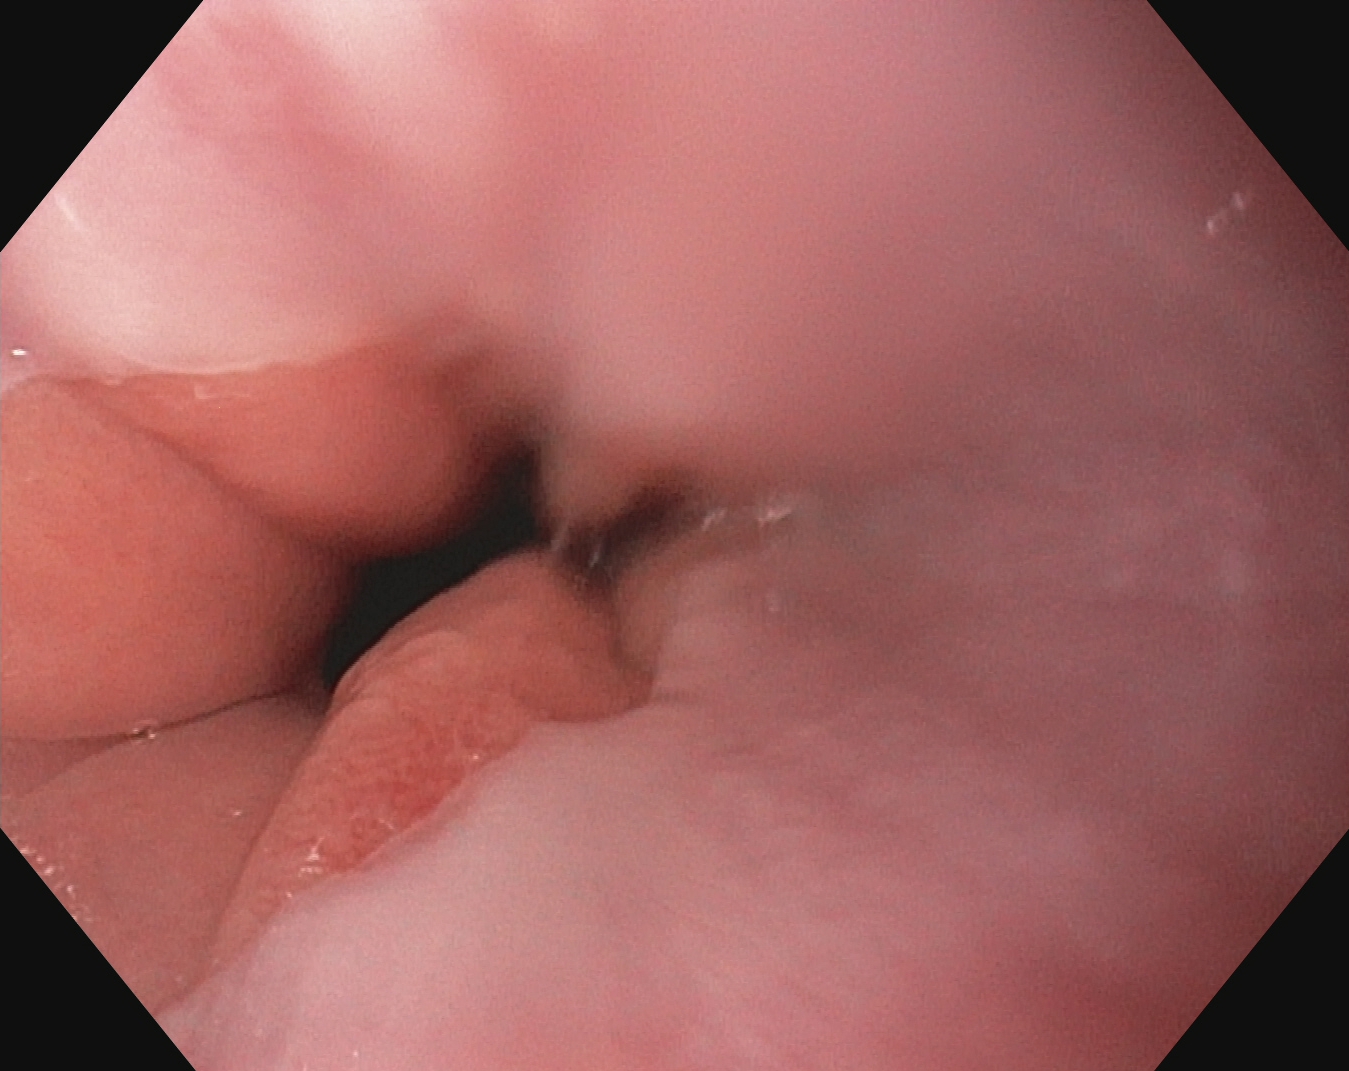This endoscopic image shows Z-line (gastroesophageal junction).